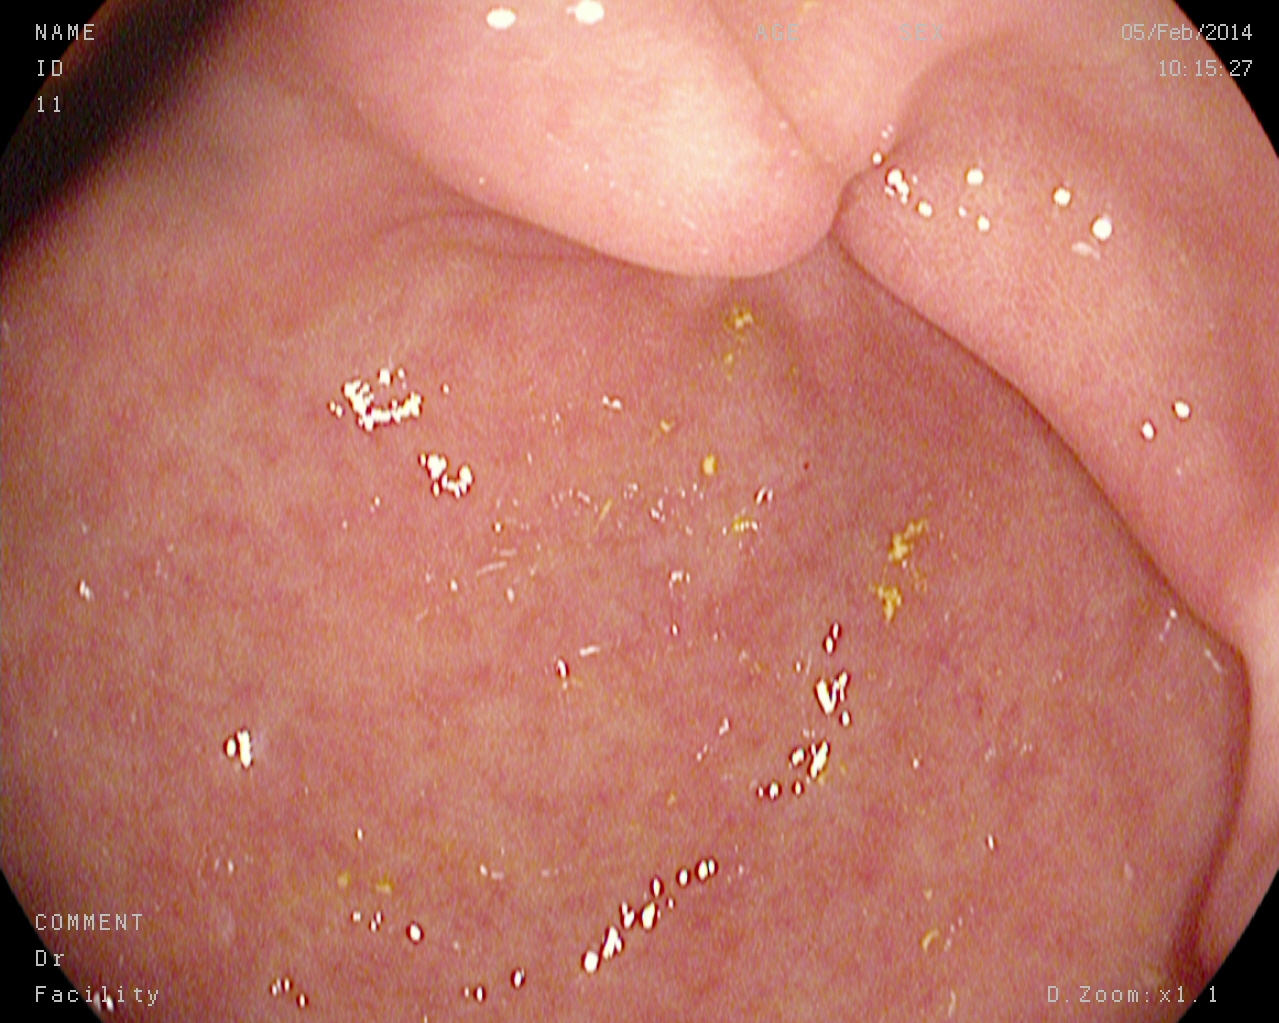Pylorus.